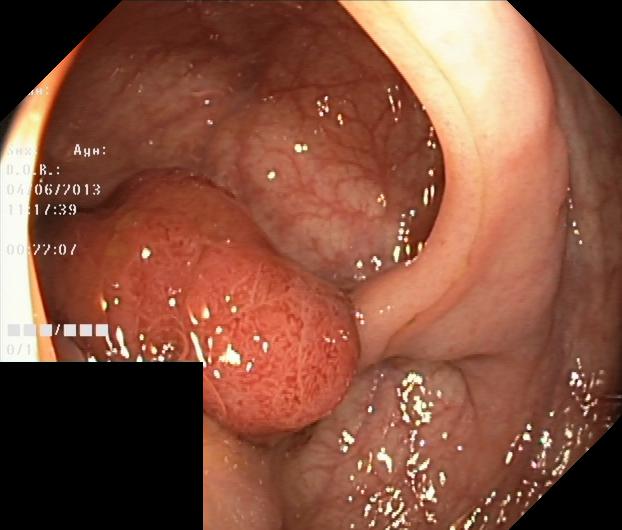modality: lower gastrointestinal endoscopy | tract: lower GI tract | finding: colorectal polyp(s)